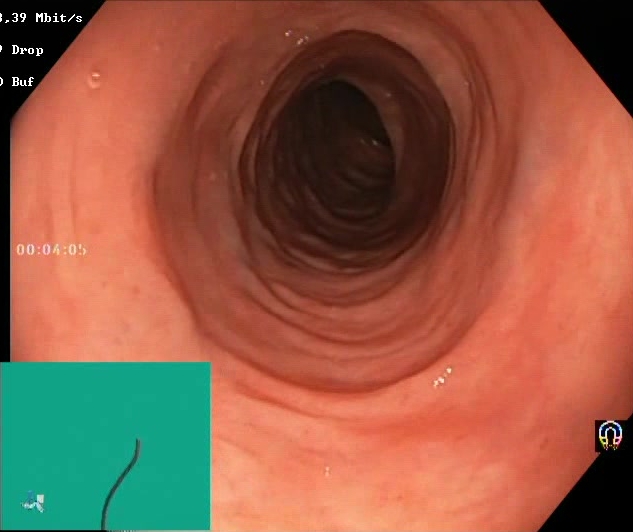Boston Bowel Preparation Scale score 2–3 (adequate preparation).